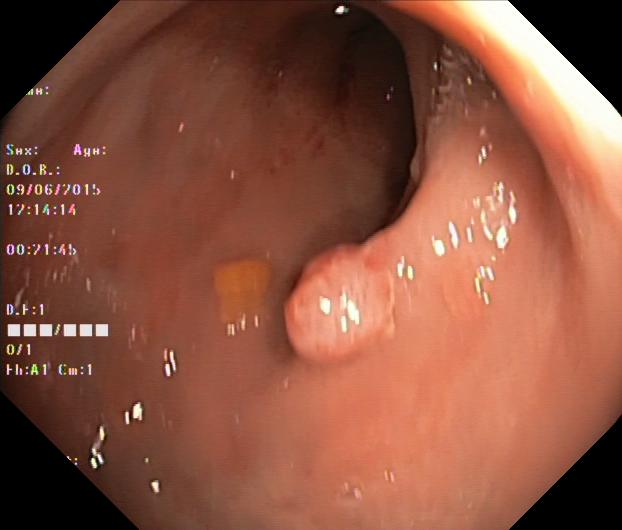PROCEDURE: Lower gastrointestinal endoscopy.
CATEGORY: Pathological finding.
FINDINGS: Colorectal polyp(s).